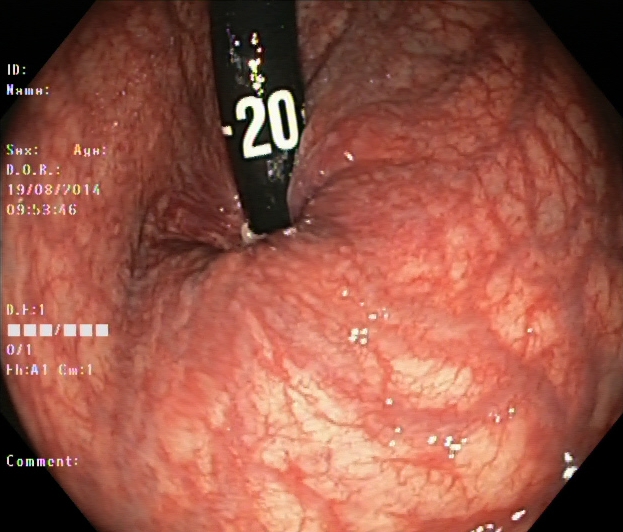rectum in retroflexion.